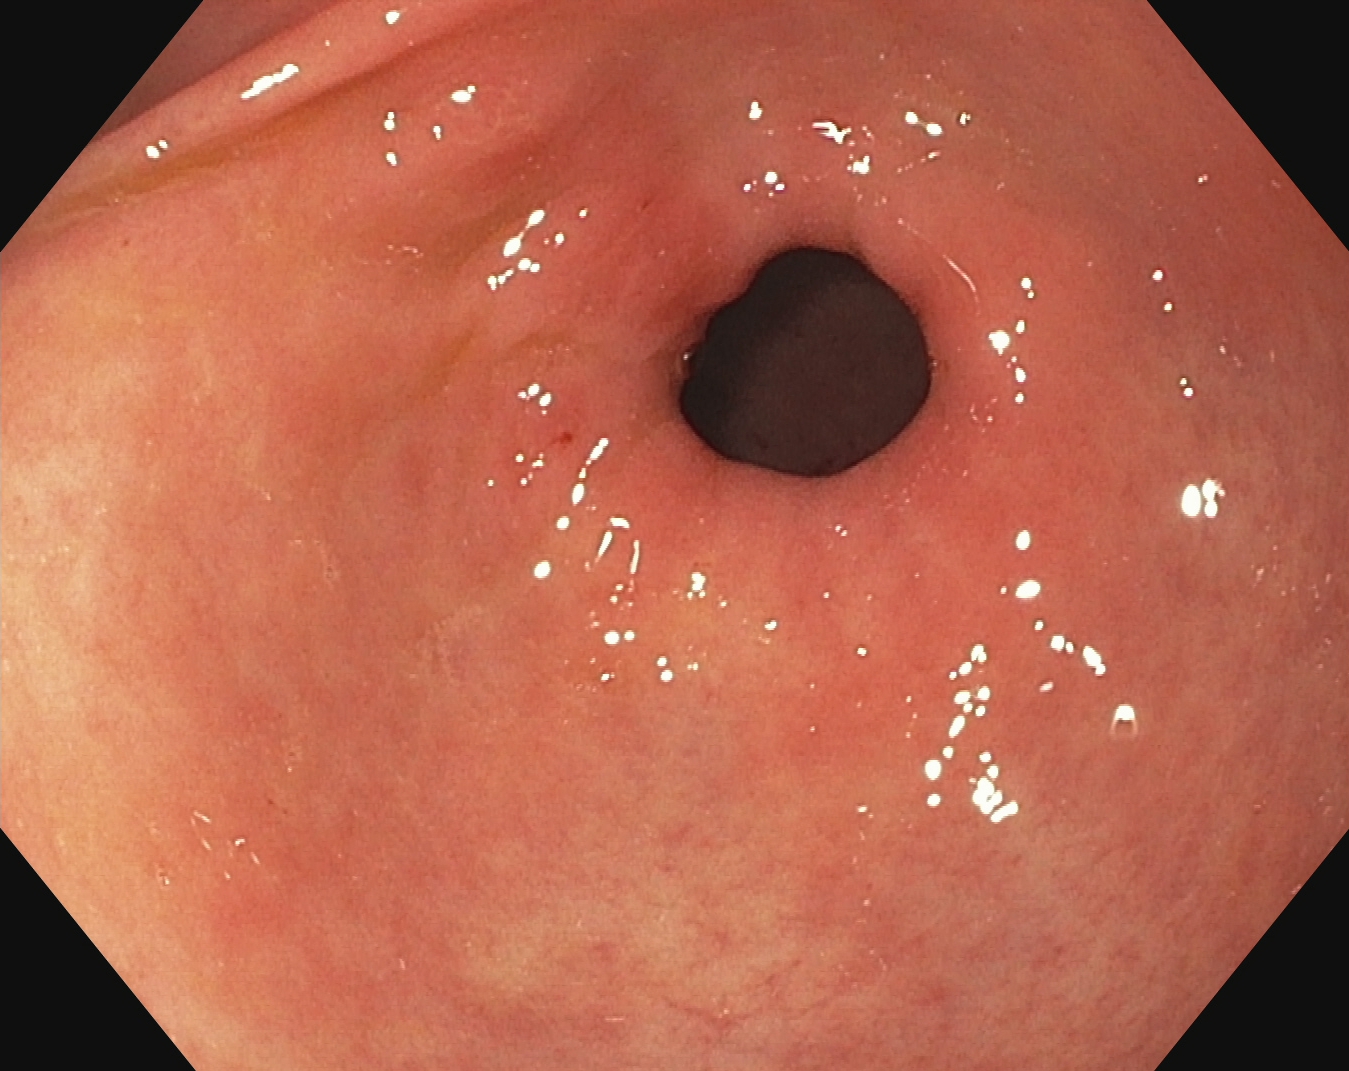Endoscopic image of the upper GI tract showing pylorus.